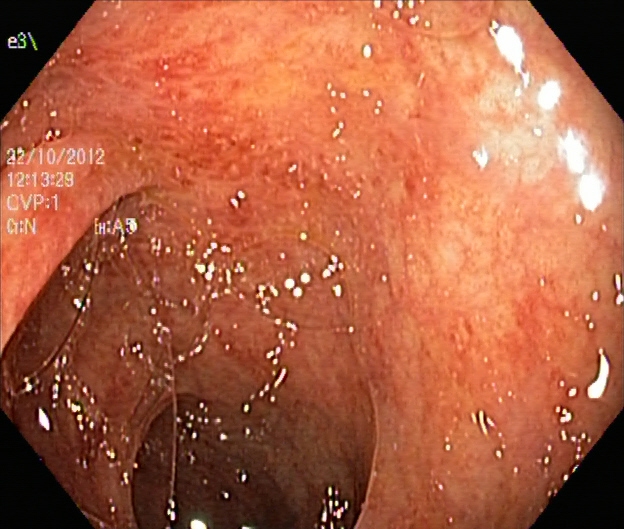PROCEDURE: Lower-GI endoscopy.
FINDINGS: UC, Mayo endoscopic subscore 1.